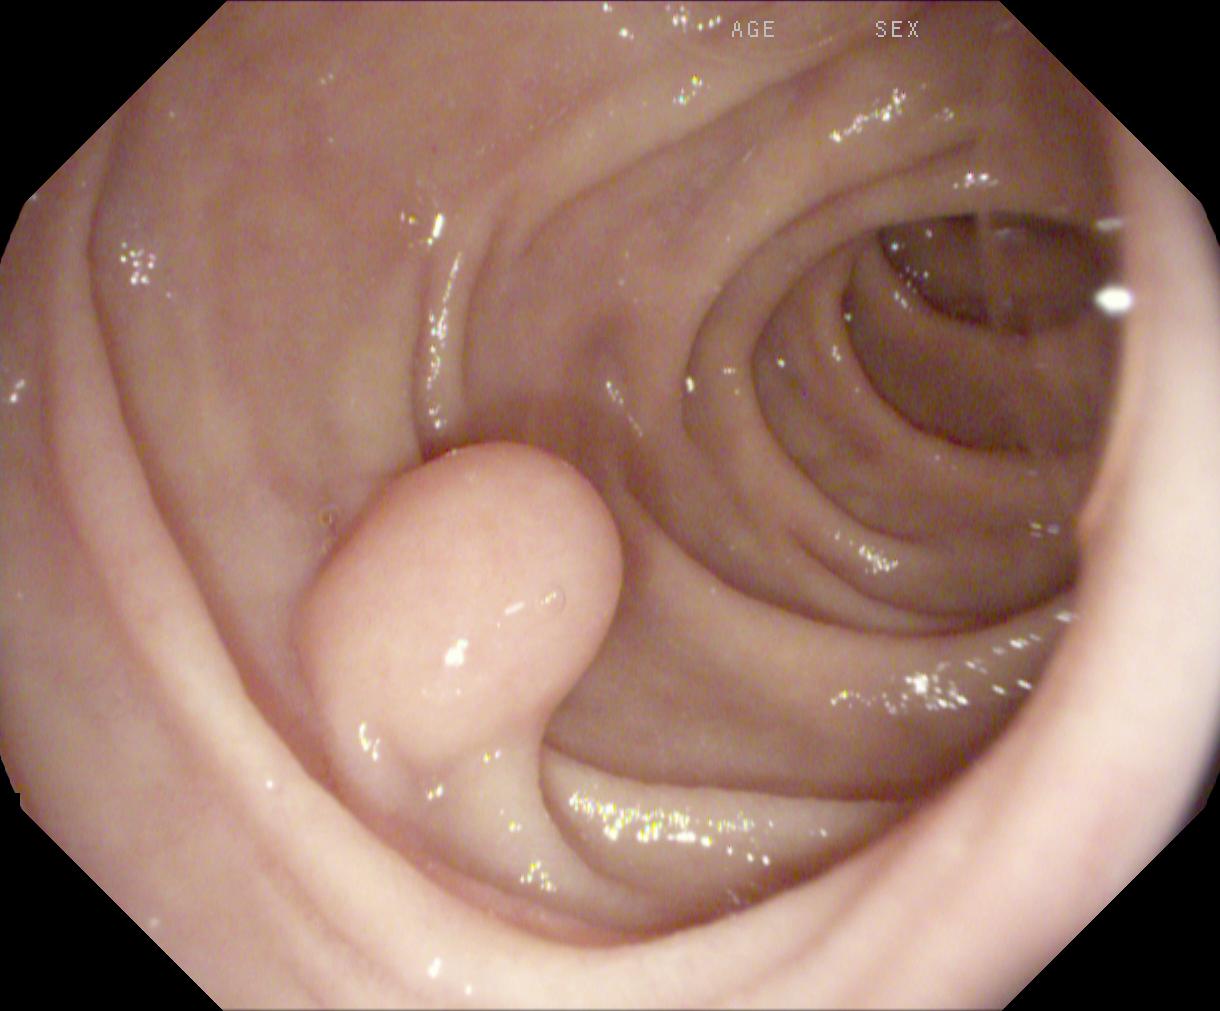Lower-GI endoscopy image of the lower GI tract showing colorectal polyp(s).